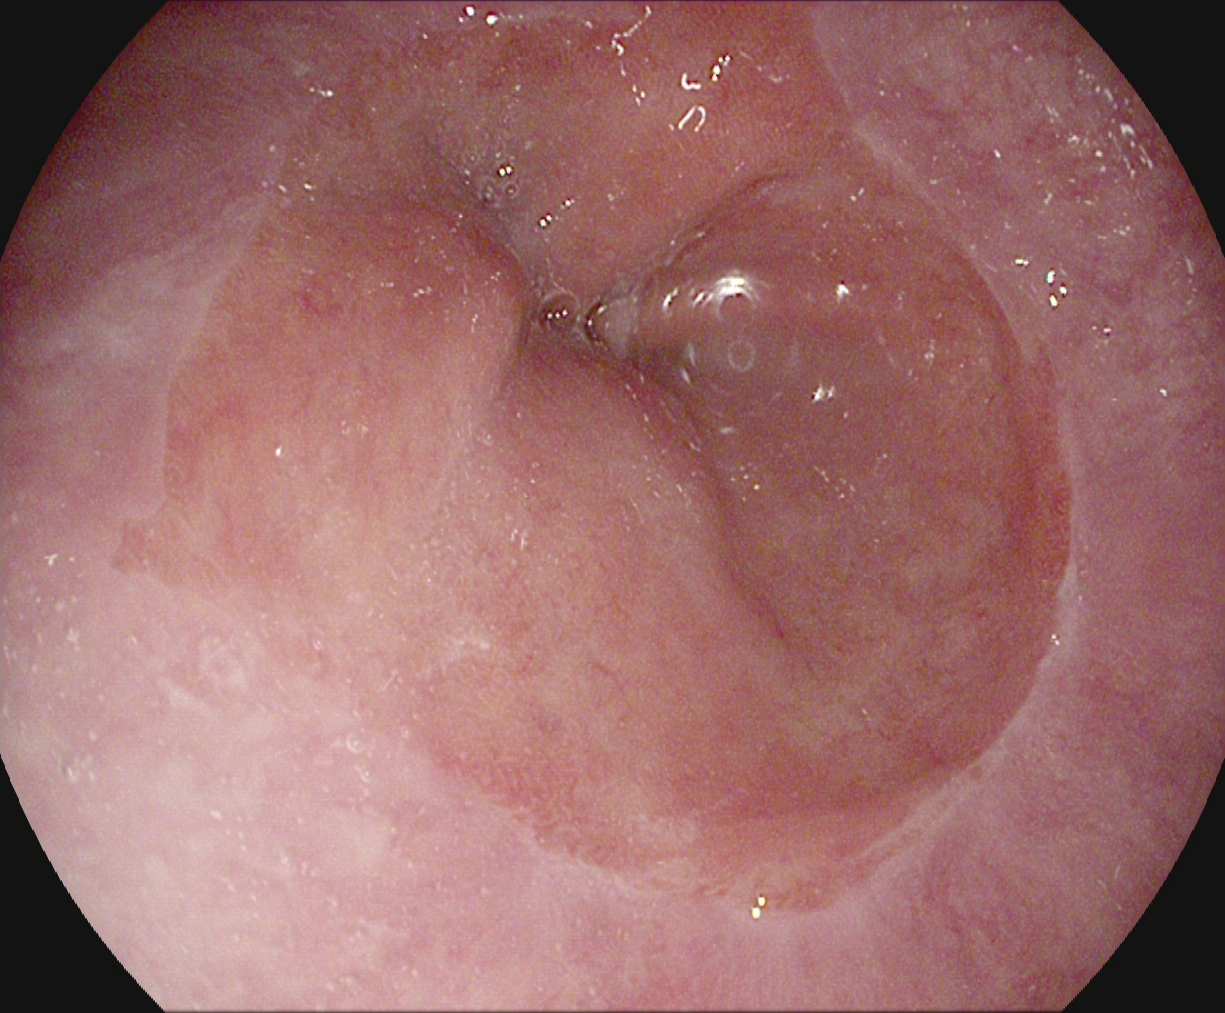{"modality": "upper-GI endoscopy", "finding": "Z-line (gastroesophageal junction)"}